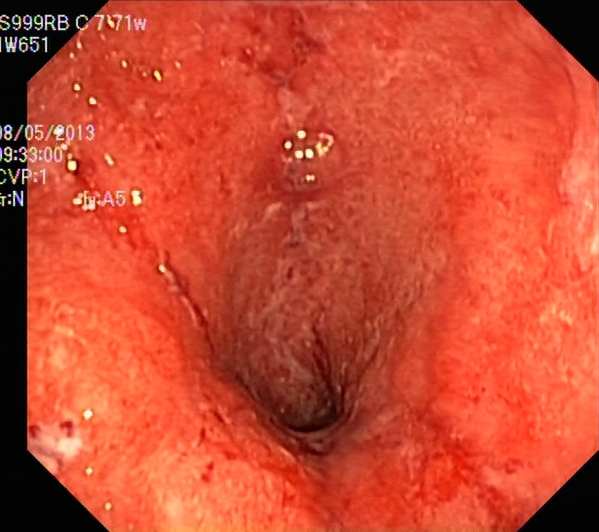PROCEDURE: Lower gastrointestinal endoscopy.
FINDINGS: Ulcerative colitis, Mayo endoscopic subscore 2.